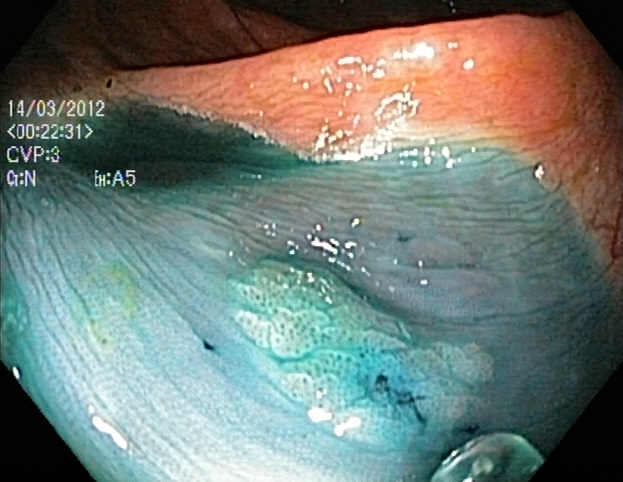dyed and lifted polyp (pre-resection).